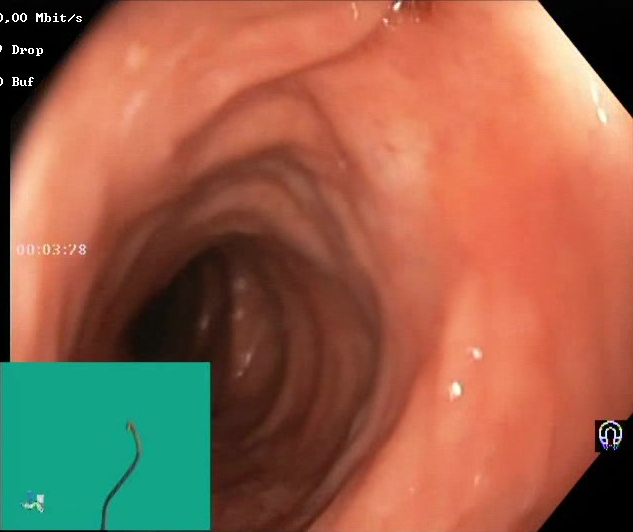This endoscopy frame shows Boston Bowel Preparation Scale score 2–3 (adequate preparation).